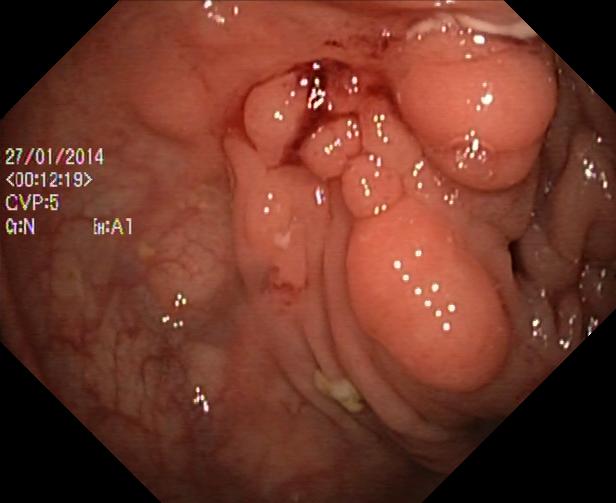GI endoscopy image of the lower GI tract showing colorectal polyp(s).